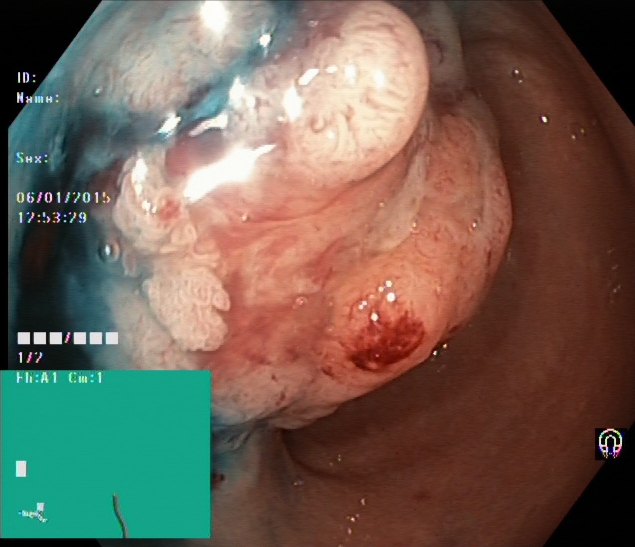modality: colonoscopy
tract: lower GI tract
finding: dyed and lifted polyp (pre-resection)